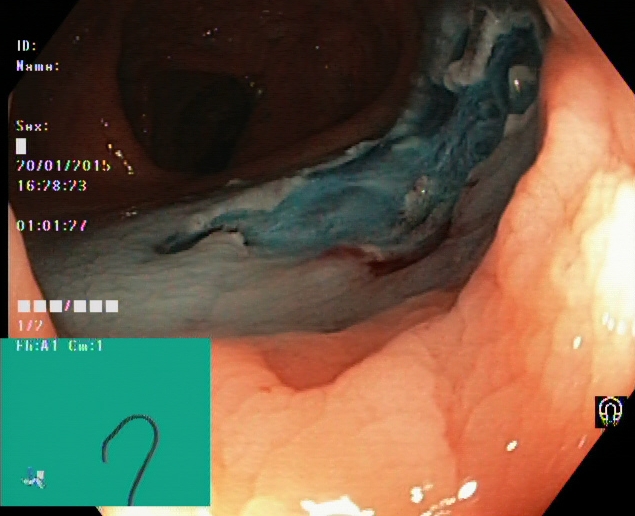{"modality": "lower gastrointestinal endoscopy", "tract": "lower GI tract", "finding": "dyed resection margins (post-polypectomy)"}